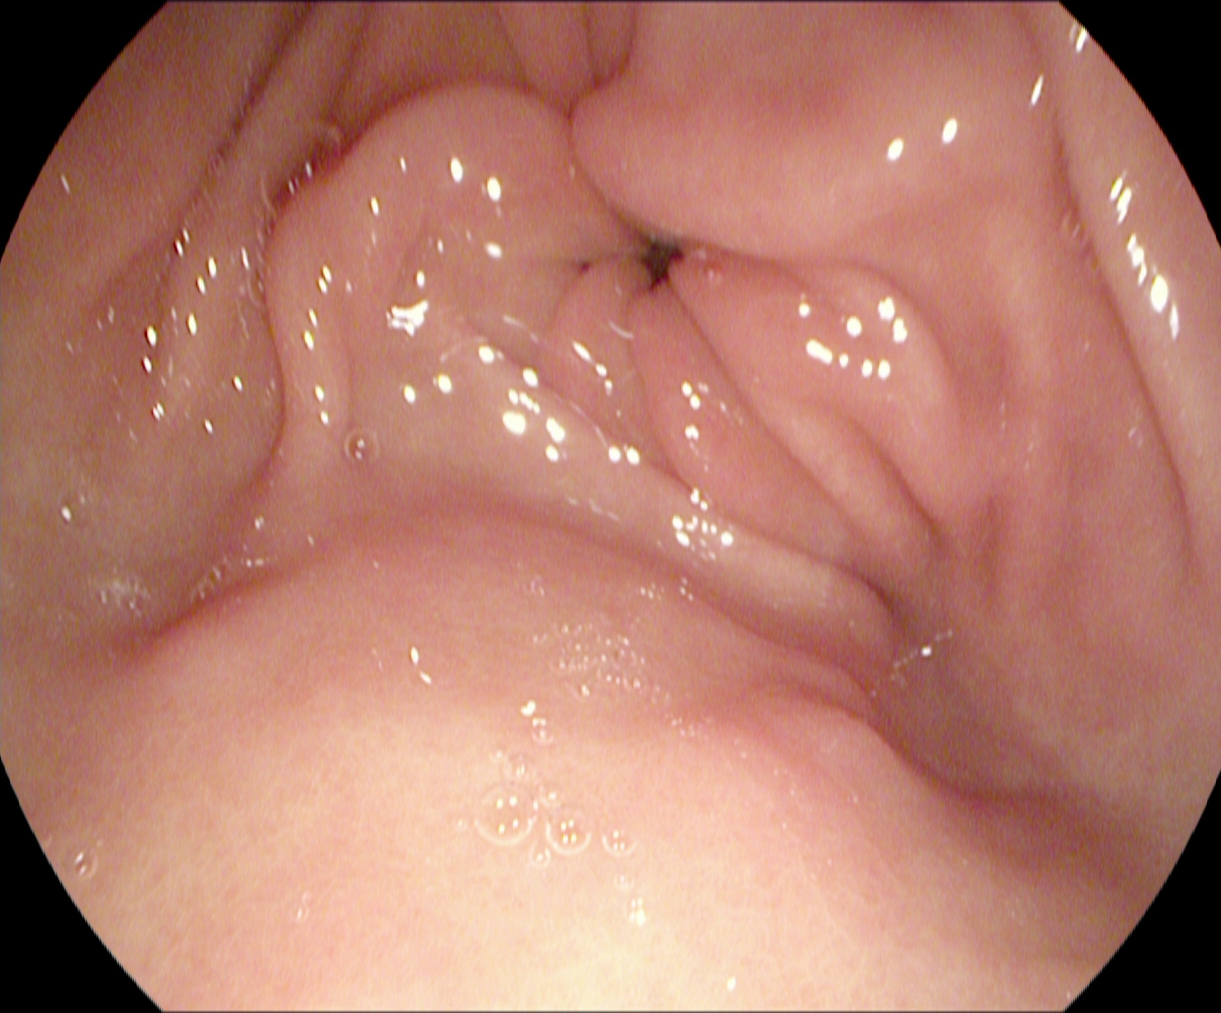Esophagogastroduodenoscopy — pylorus.